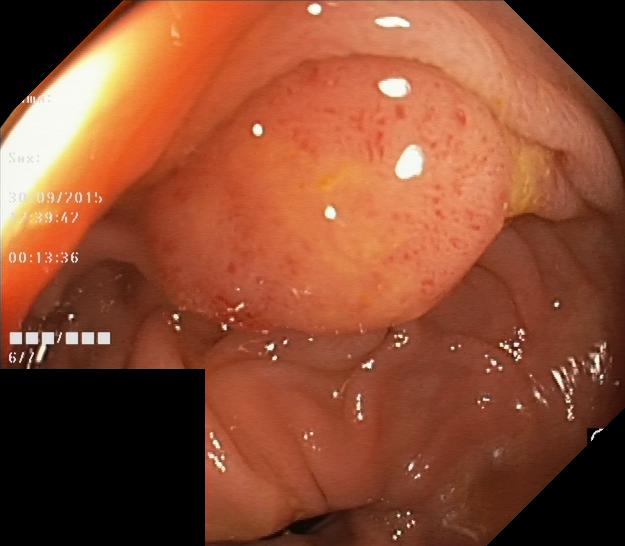This endoscopic image of the lower GI tract shows colorectal polyp(s).